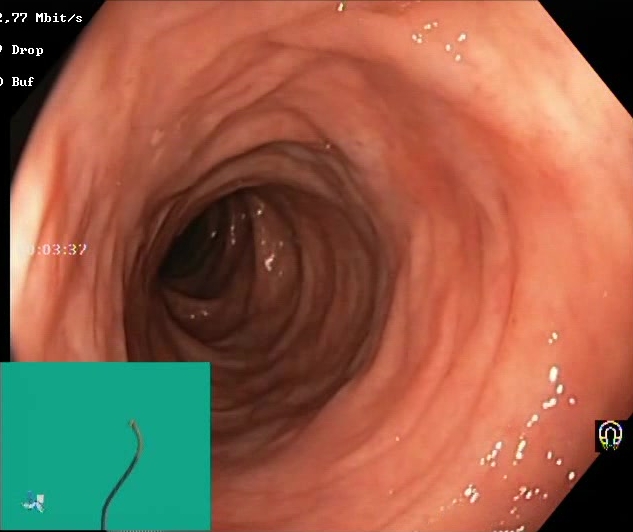This endoscopic image shows Boston Bowel Preparation Scale score 2–3 (adequate preparation).